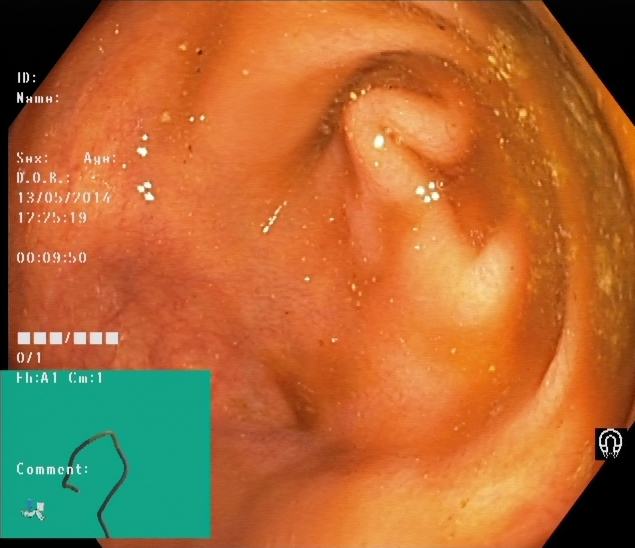Colonoscopy — cecum.